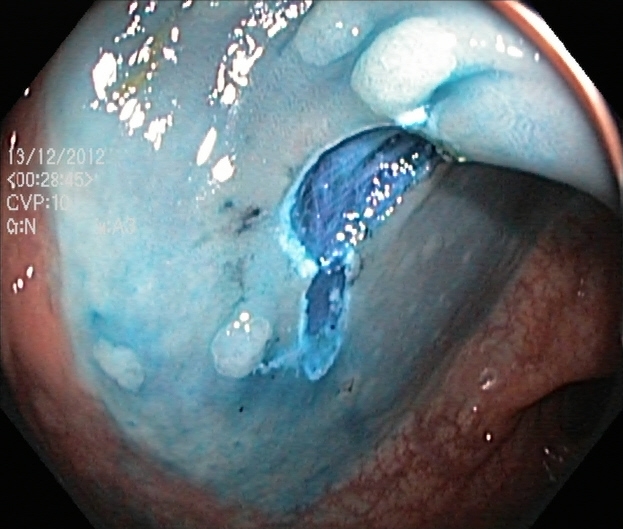Lower-GI endoscopy. Tract: lower GI tract. Finding: dyed resection margins (post-polypectomy).